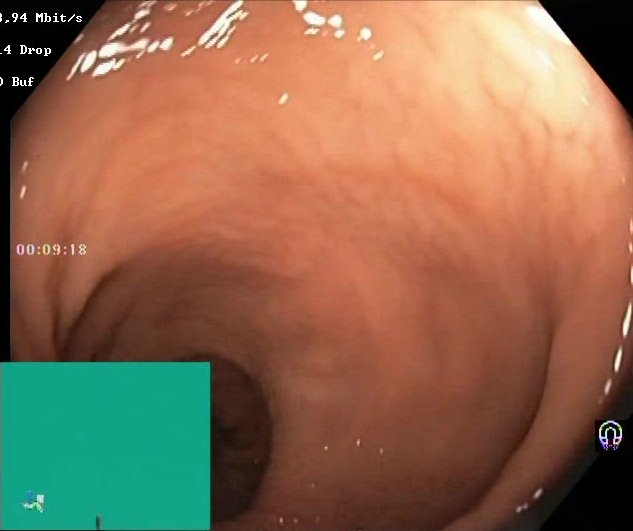Lower gastrointestinal endoscopy — Boston Bowel Preparation Scale score 2–3 (adequate preparation).